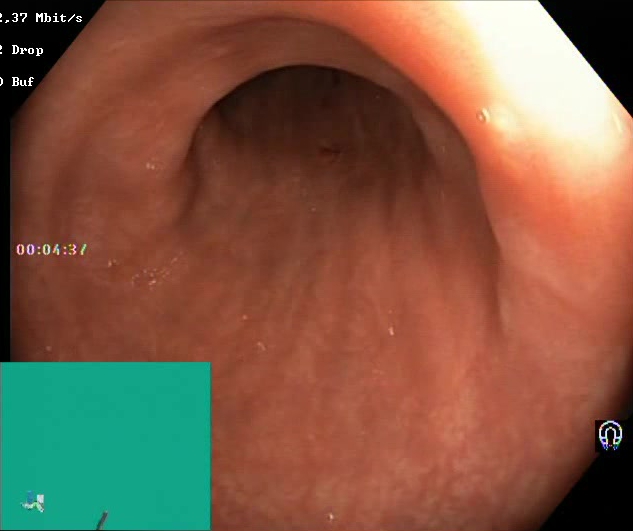PROCEDURE: Colonoscopy.
CATEGORY: Mucosal-view quality.
FINDINGS: Boston Bowel Preparation Scale score 2–3 (adequate preparation).